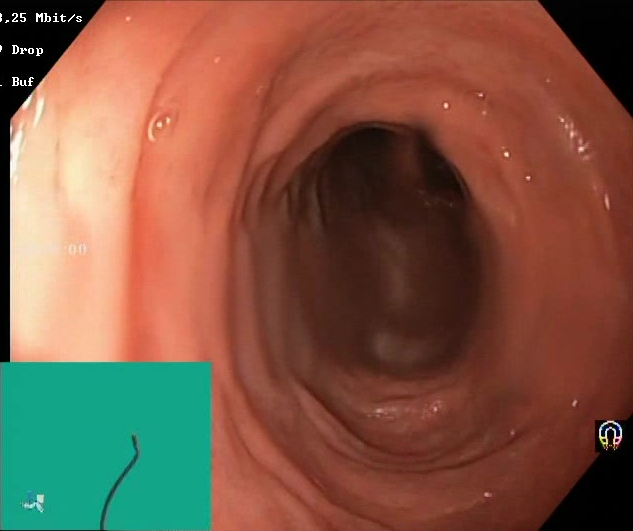PROCEDURE: Colonoscopy.
FINDINGS: Boston Bowel Preparation Scale score 2–3 (adequate preparation).